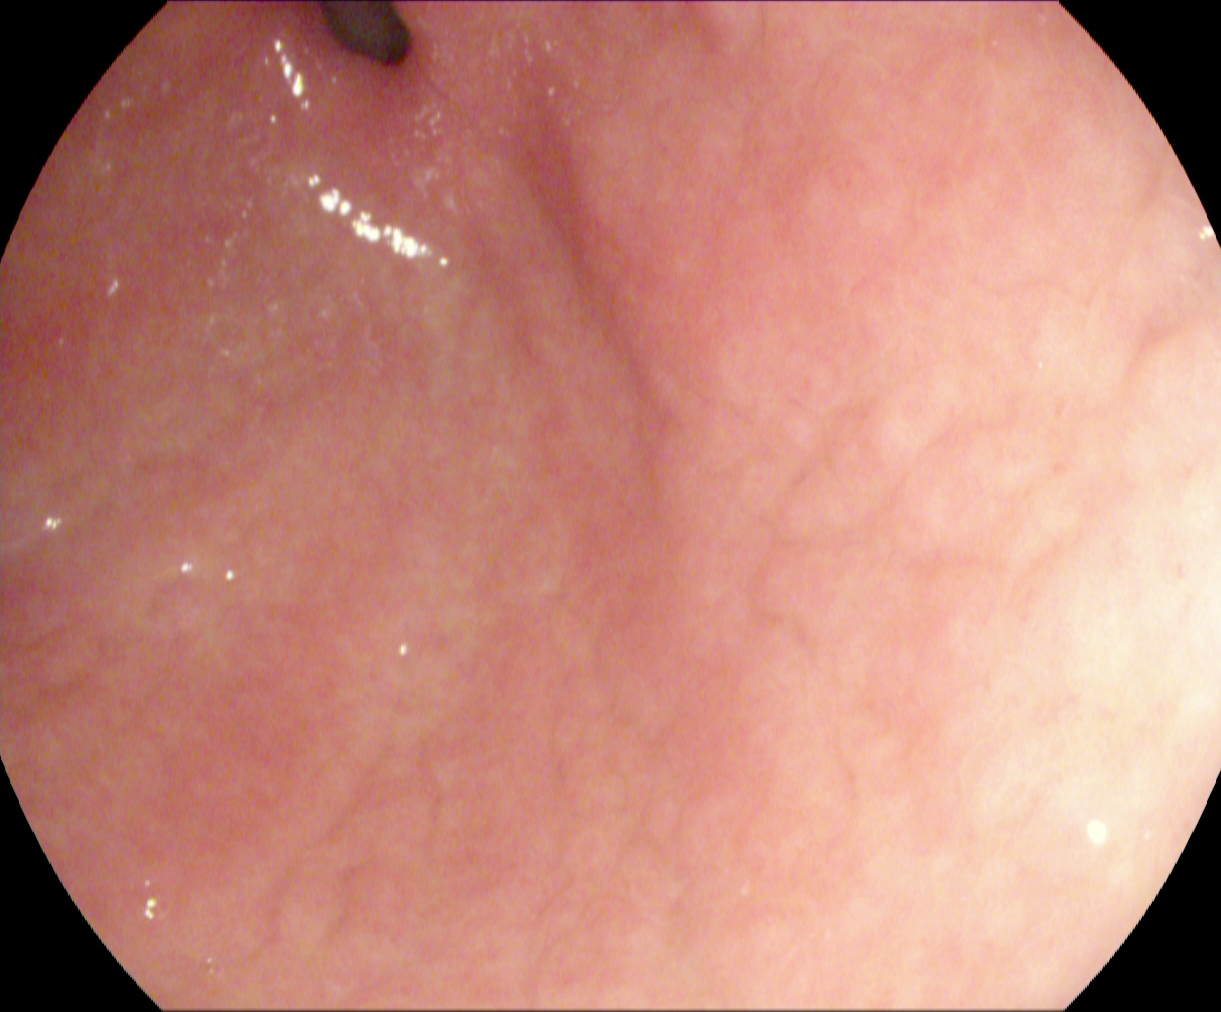PROCEDURE: Esophagogastroduodenoscopy.
CATEGORY: Anatomical landmark.
FINDINGS: Pylorus.